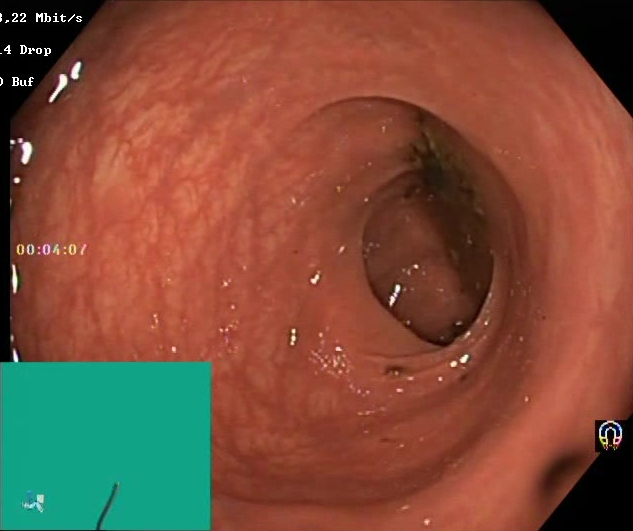Colonoscopy. Tract: lower GI tract. Finding: BBPS score 0–1 (inadequate preparation).